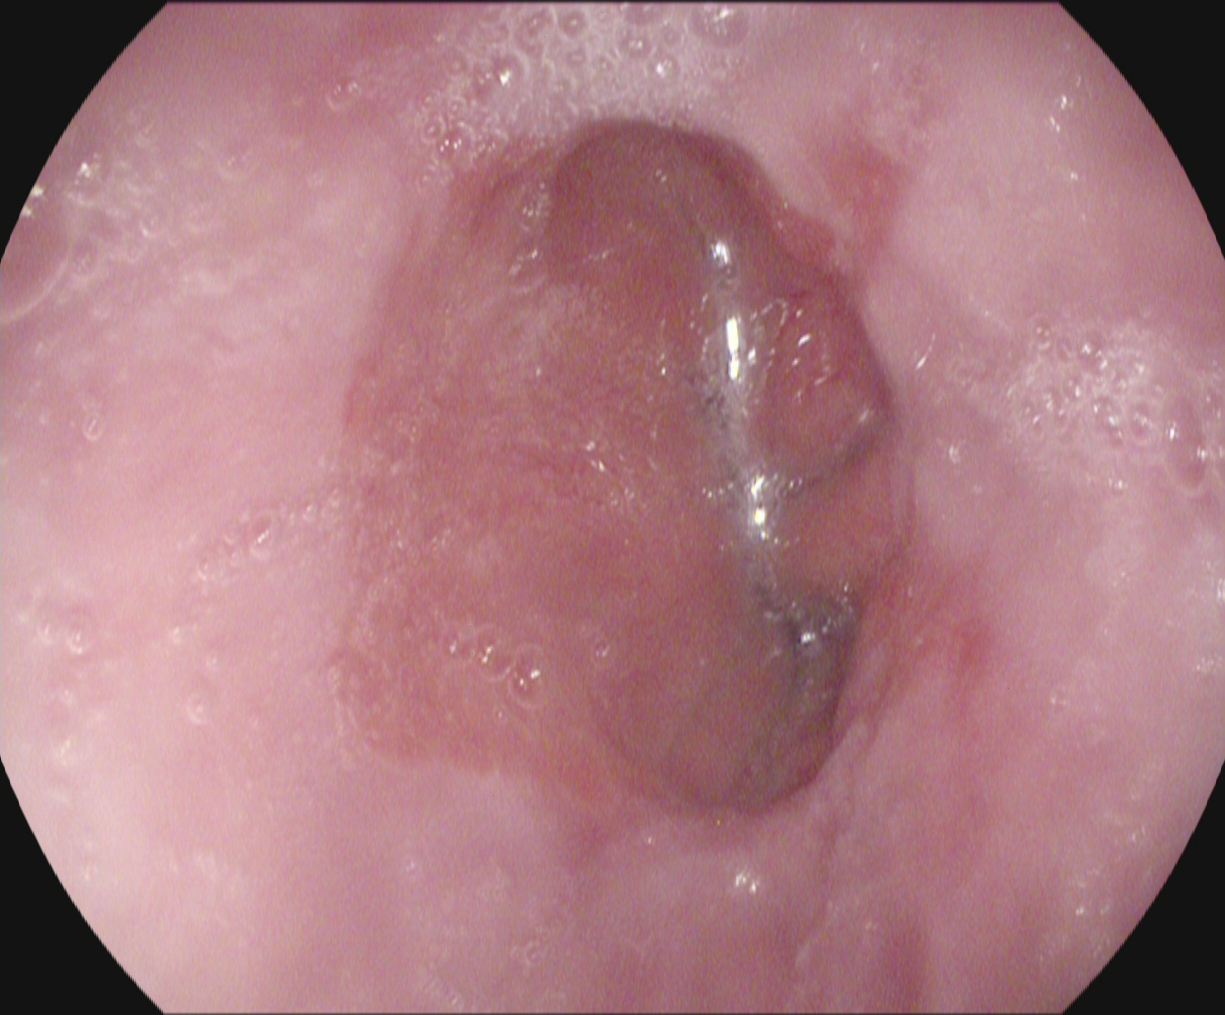{"modality": "esophagogastroduodenoscopy", "tract": "upper GI tract", "category": "pathological finding", "finding": "reflux esophagitis, Los Angeles grade A"}